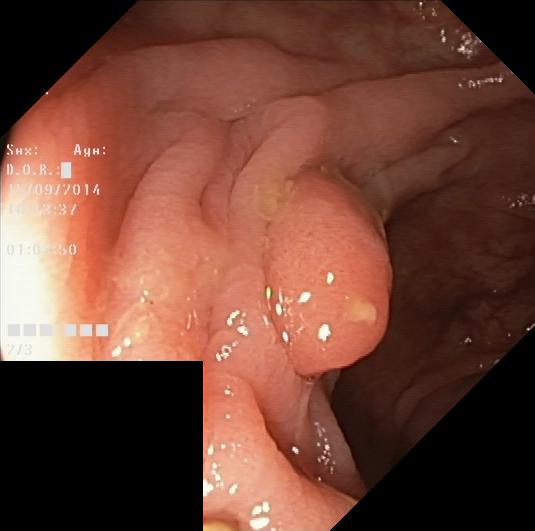Colonoscopy — colorectal polyp(s).